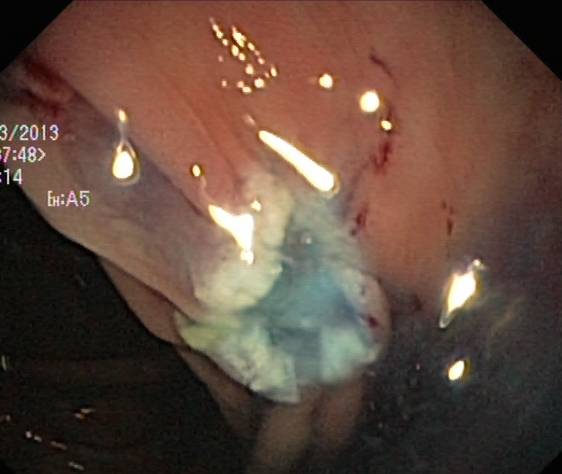Lower gastrointestinal endoscopy. Finding: dyed resection margins (post-polypectomy).